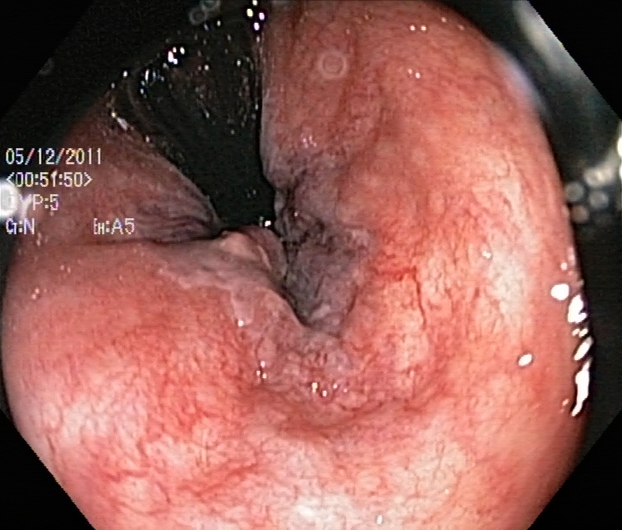This endoscopic image of the lower GI tract shows rectum in retroflexion.